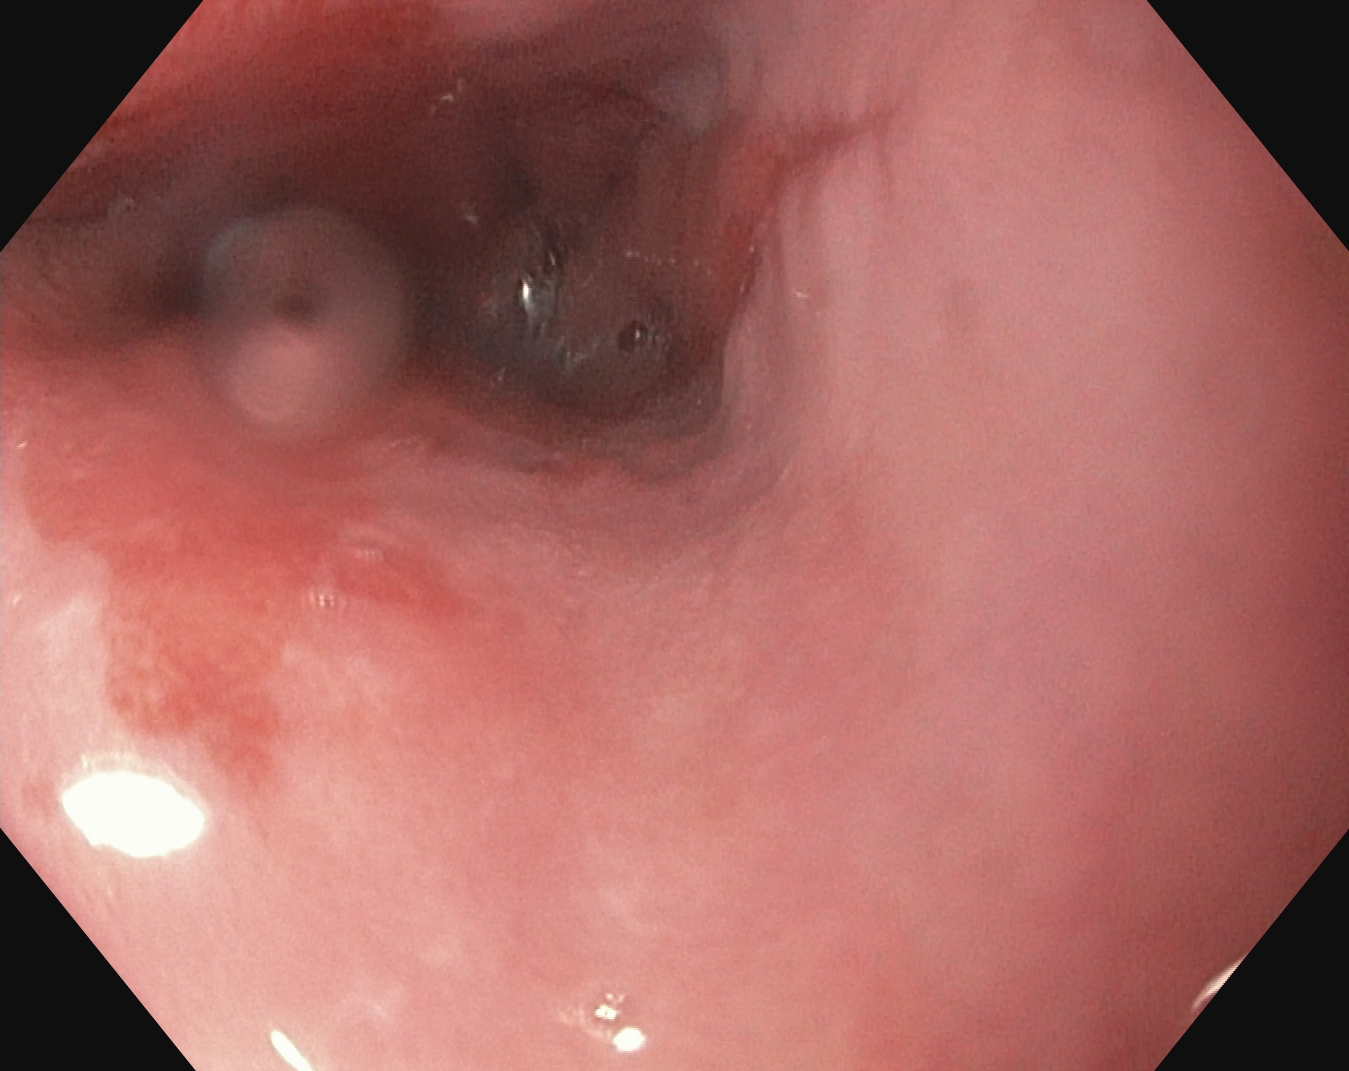Barrett's esophagus, short segment.